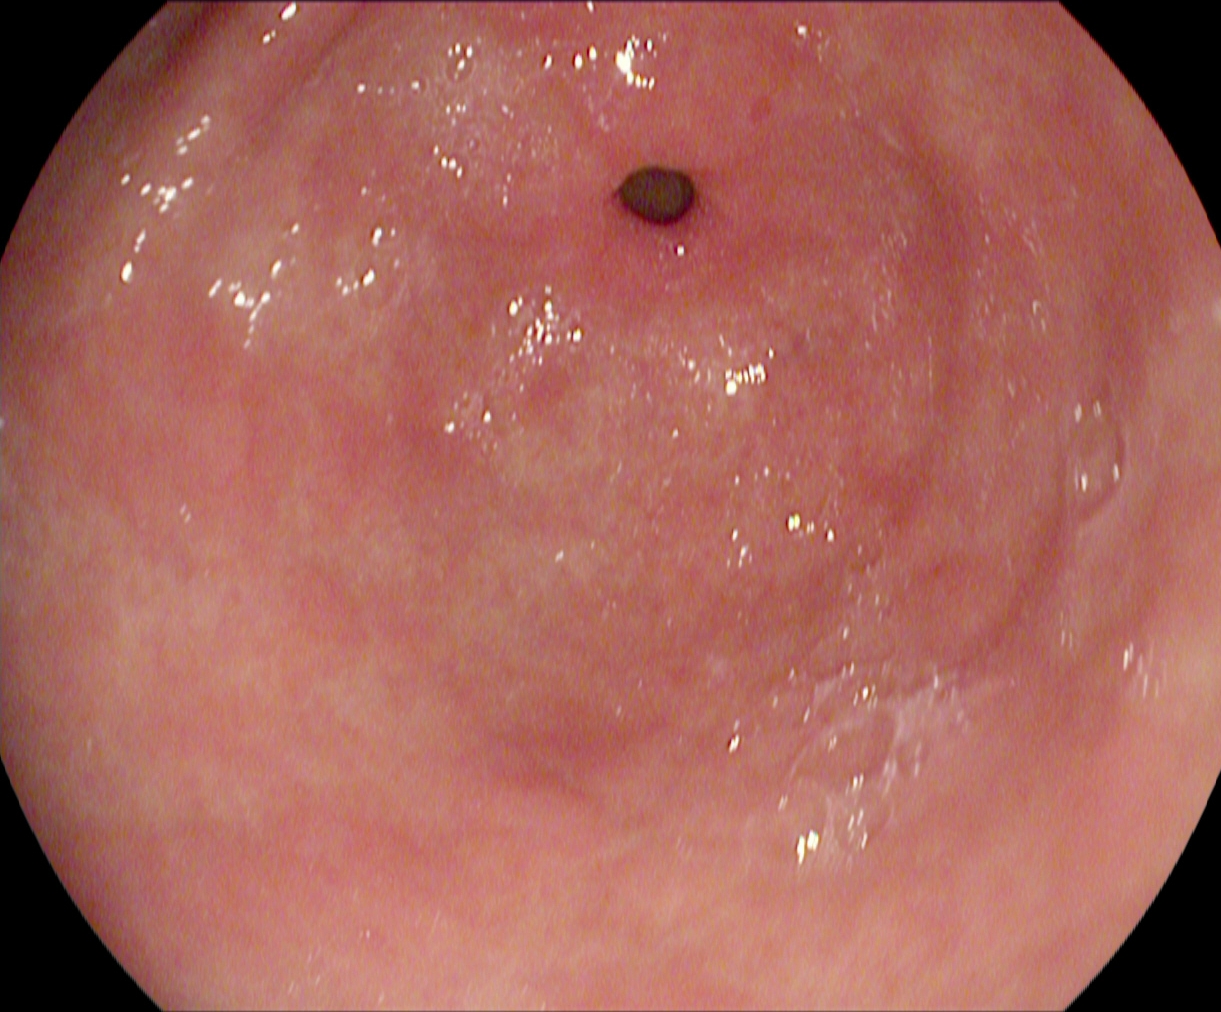Pylorus.